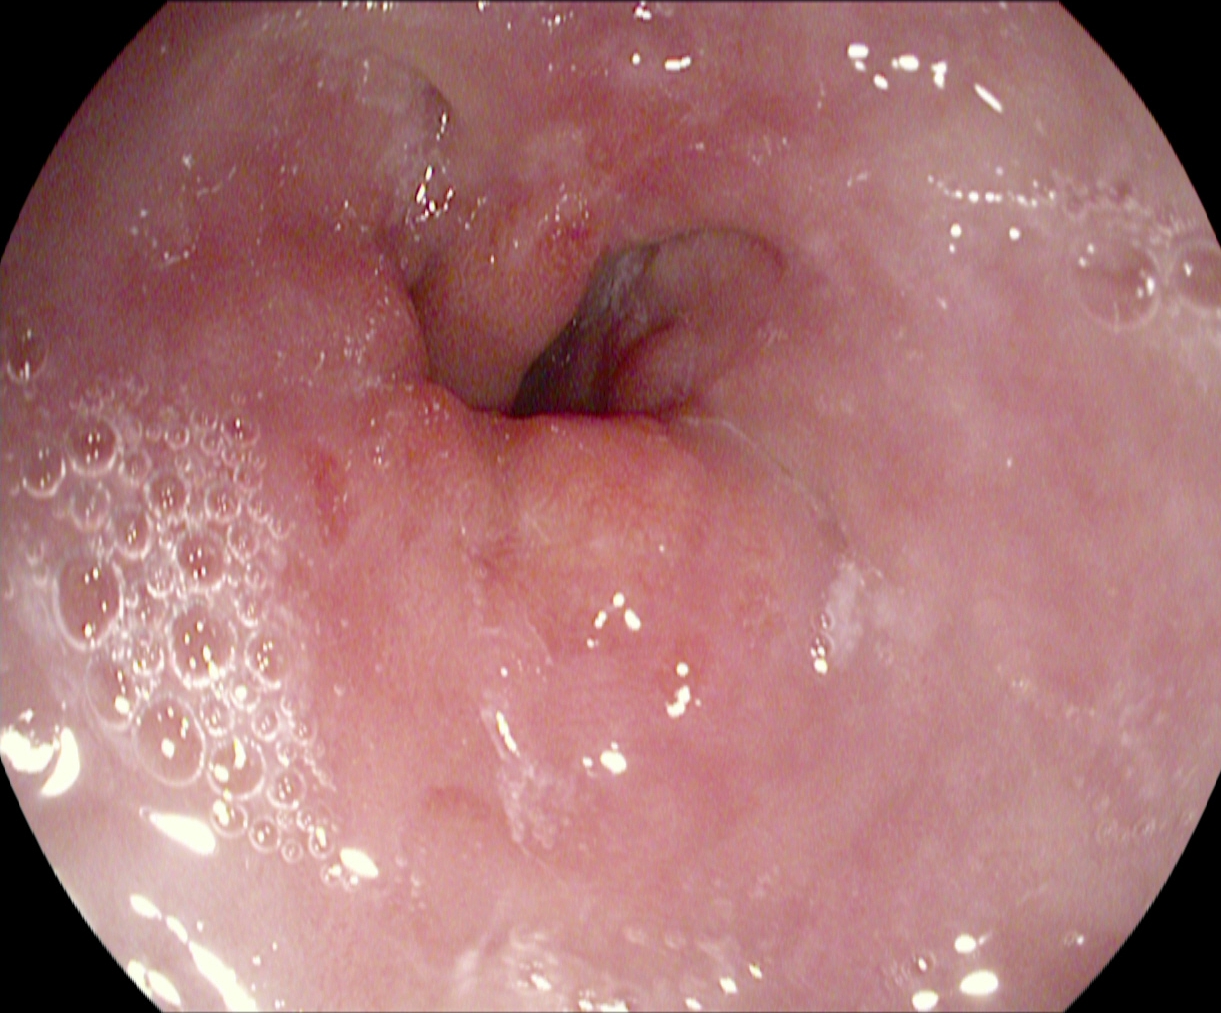modality: esophagogastroduodenoscopy; tract: upper GI tract; finding: reflux esophagitis, LA grade A